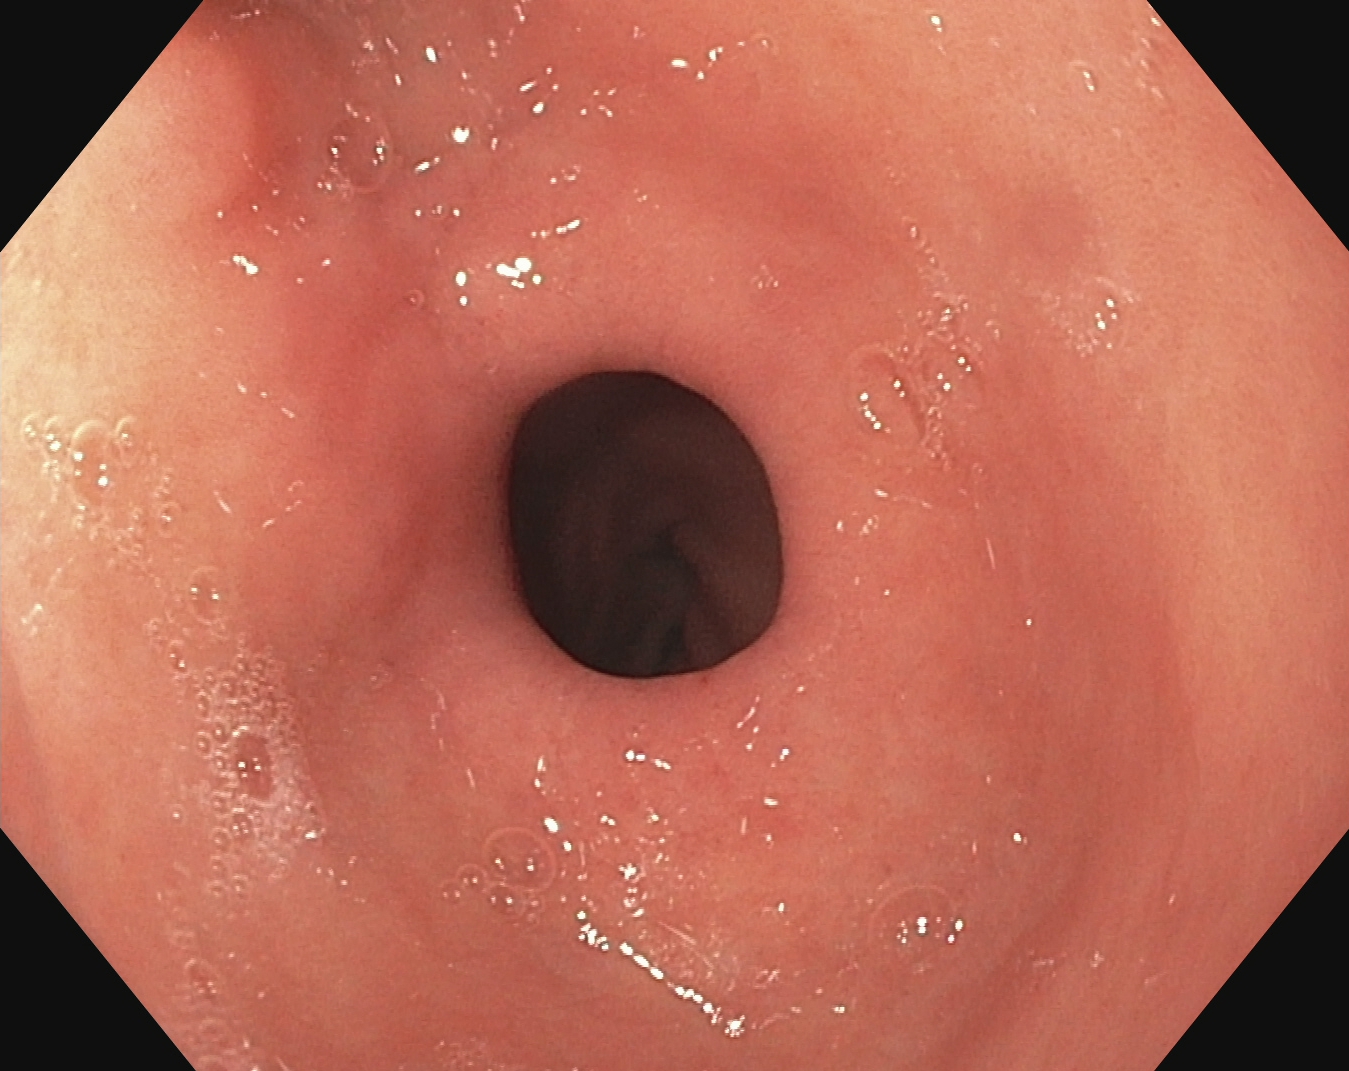pylorus.